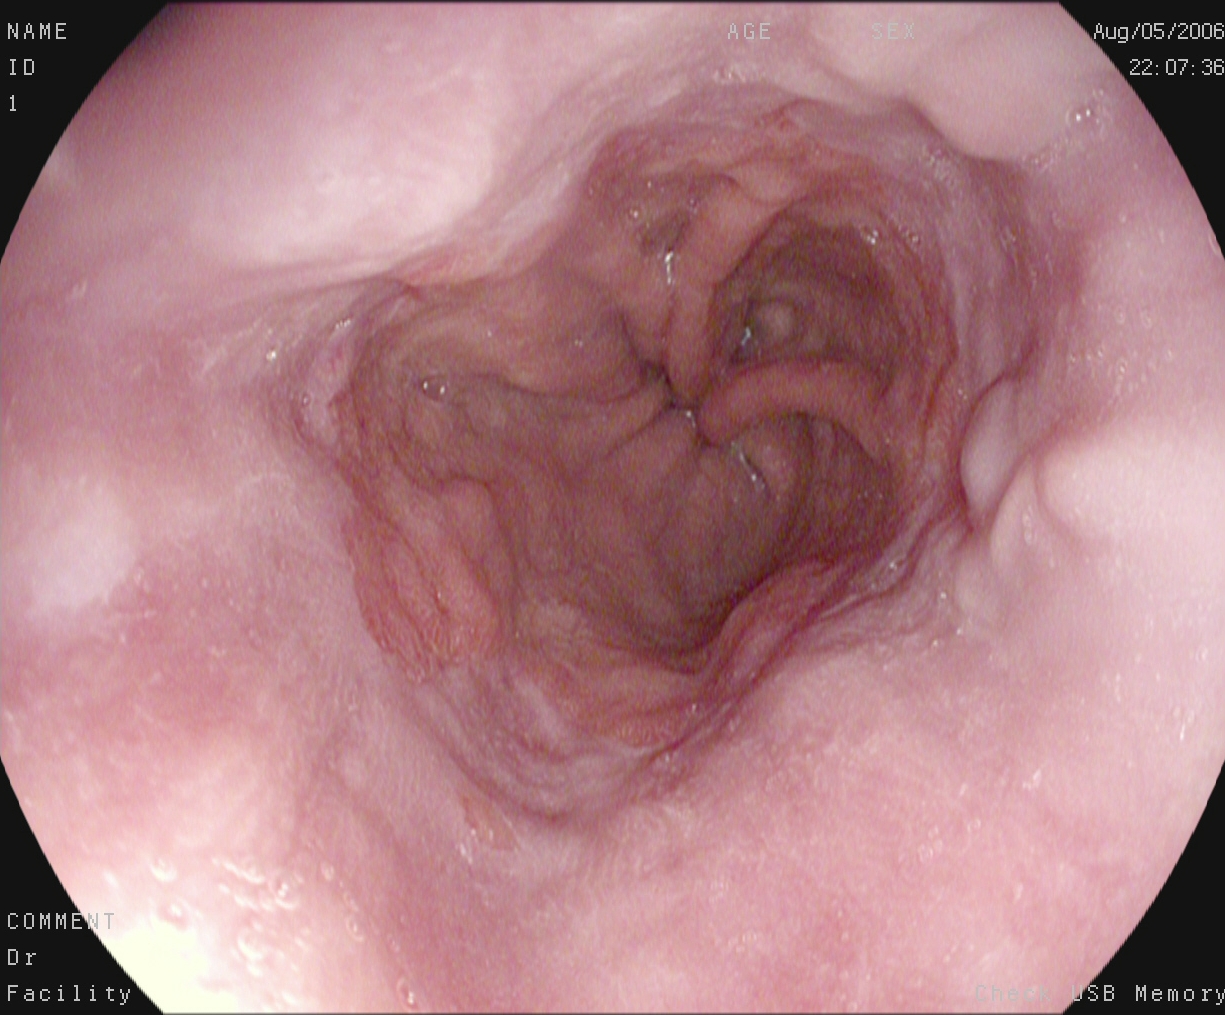Reflux esophagitis, Los Angeles grade A.